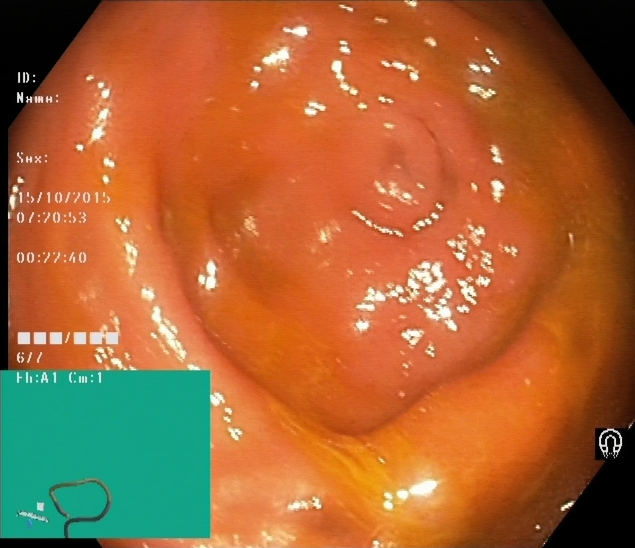modality: colonoscopy | tract: lower GI tract | category: anatomical landmark | finding: cecum